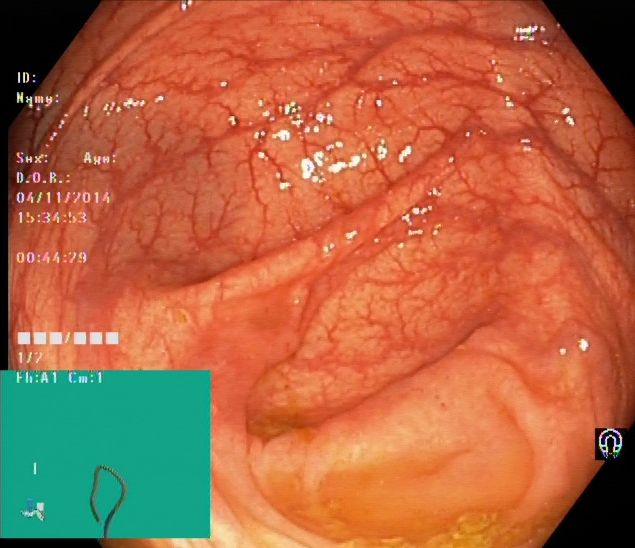Colonoscopy. Tract: lower GI tract. Anatomical landmark. Finding: cecum.